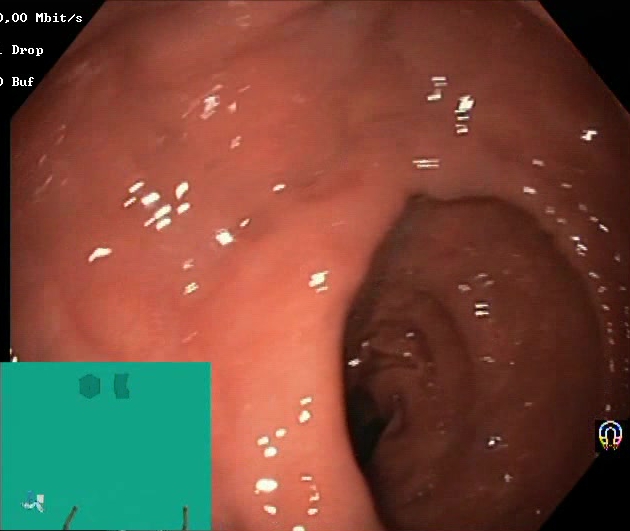modality: lower gastrointestinal endoscopy
tract: lower GI tract
category: mucosal-view quality
finding: Boston Bowel Preparation Scale score 2–3 (adequate preparation)